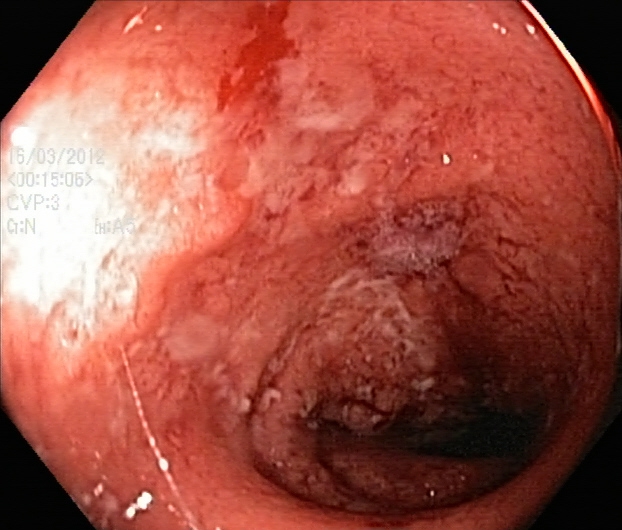This endoscopy frame of the lower GI tract shows UC, Mayo endoscopic subscore 3.